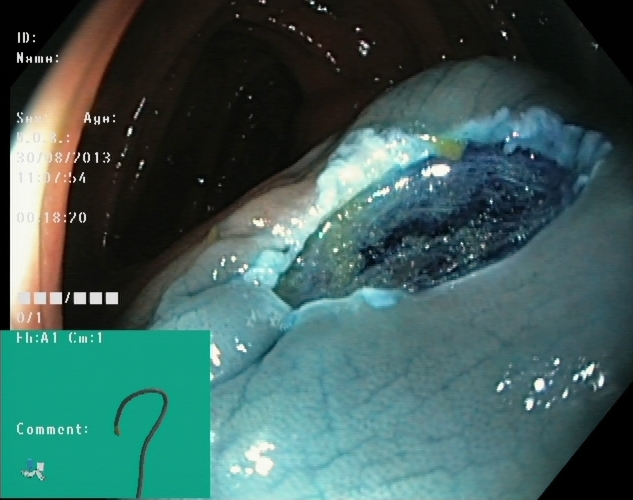{"modality": "lower-GI endoscopy", "finding": "dyed resection margins (post-polypectomy)"}